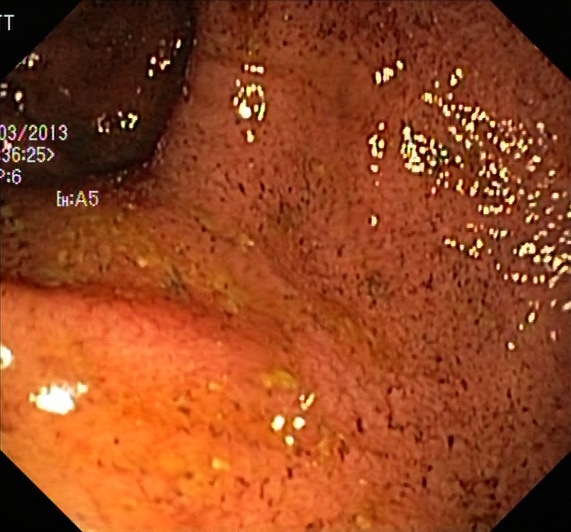Lower-GI endoscopy — ulcerative colitis, Mayo endoscopic subscore 2.